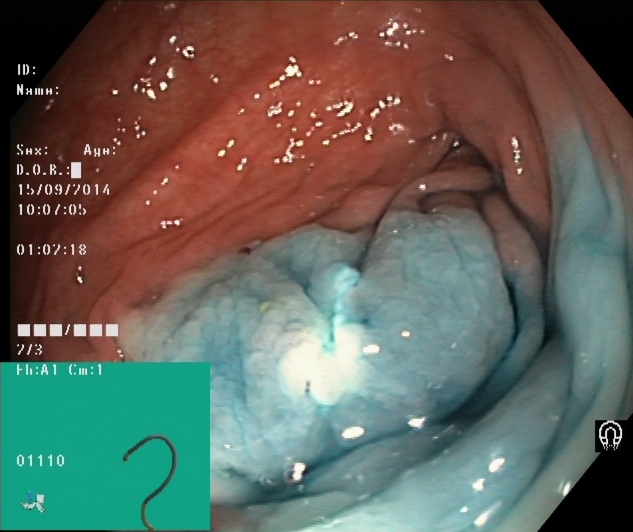Dyed and lifted polyp (pre-resection).